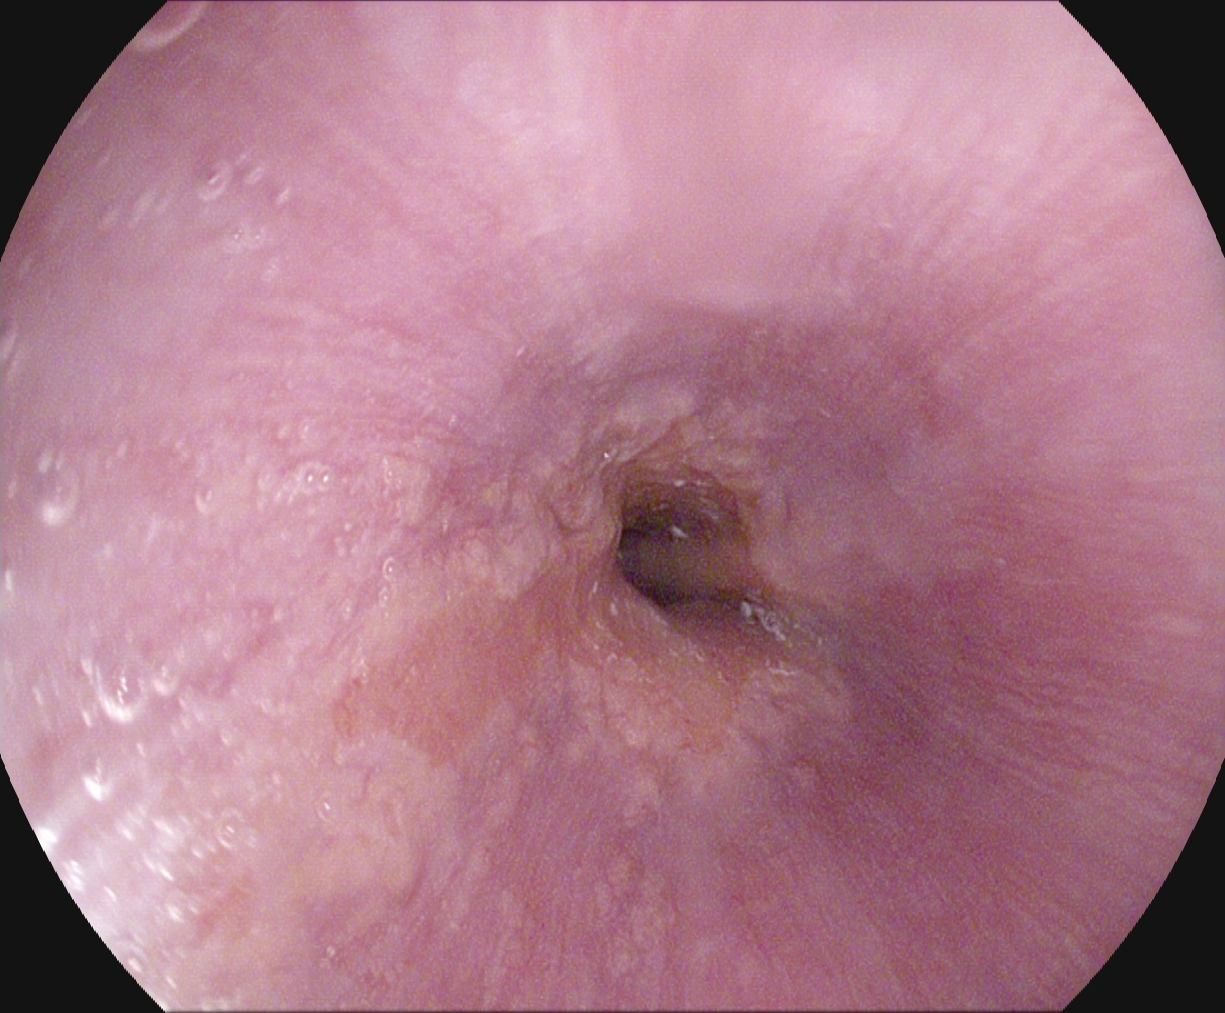Endoscopic frame showing Barrett's esophagus.